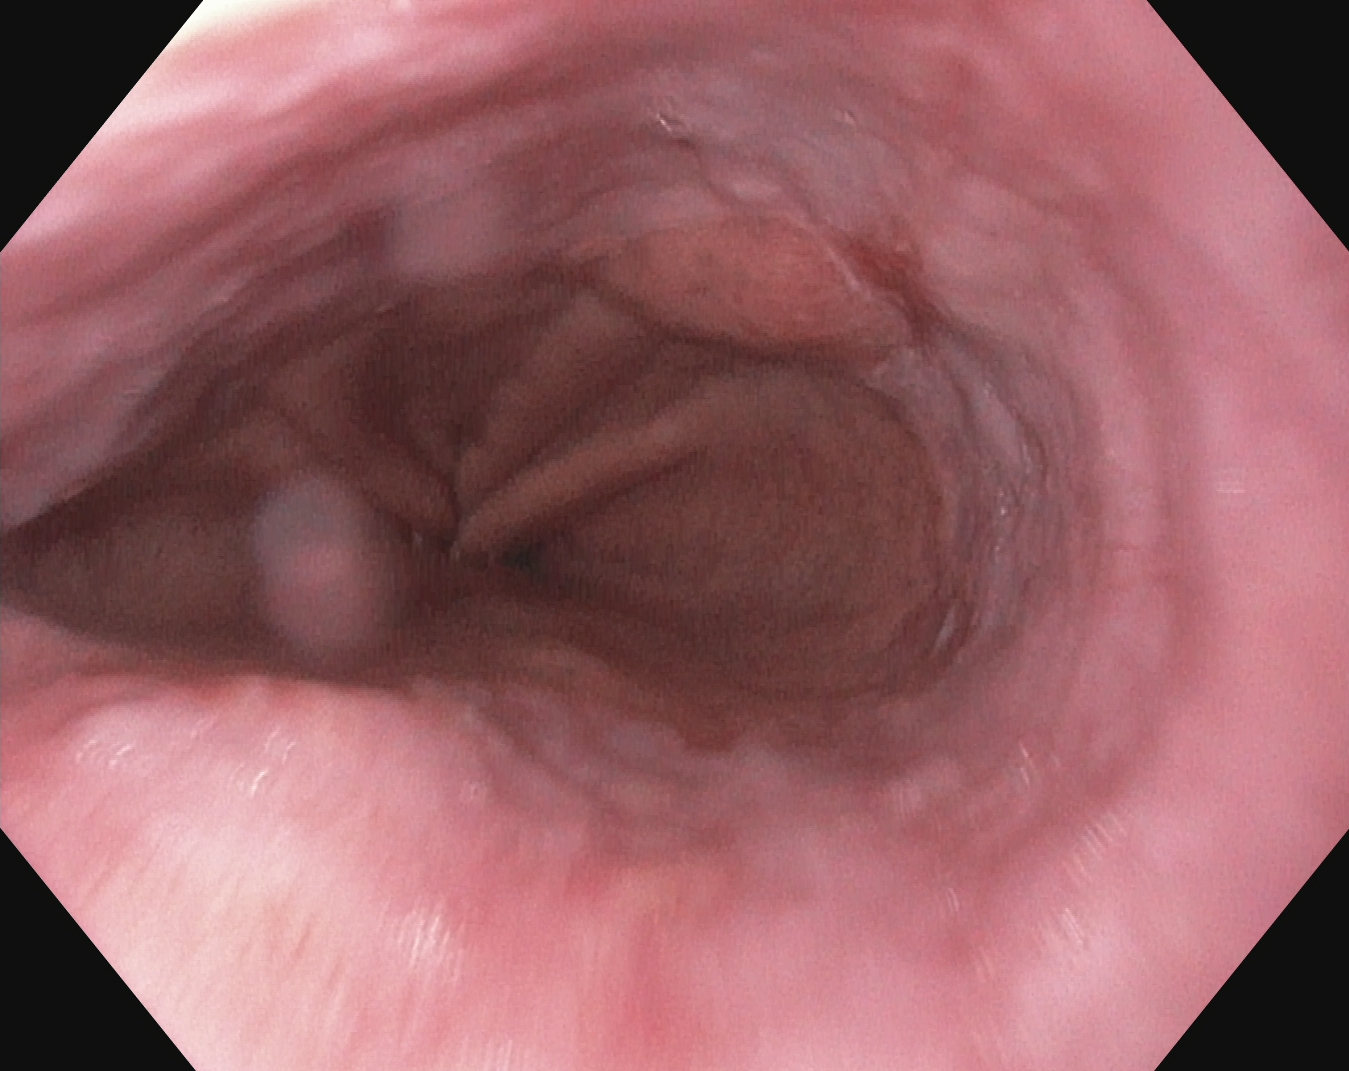PROCEDURE: Gastroscopy.
FINDINGS: Reflux esophagitis, LA grade A.